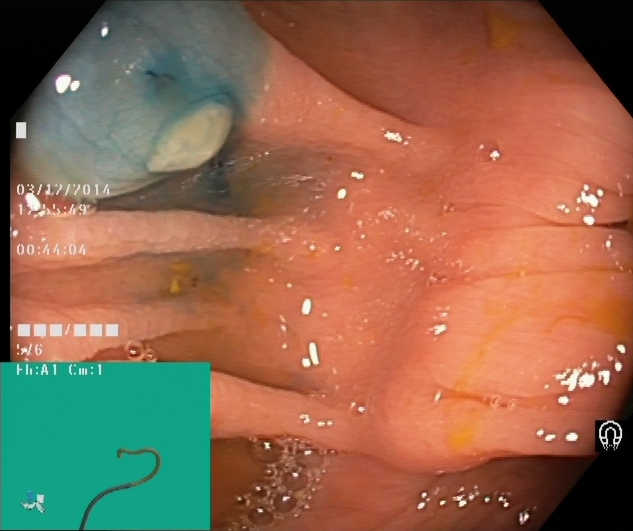This endoscopy frame shows dyed and lifted polyp (pre-resection).